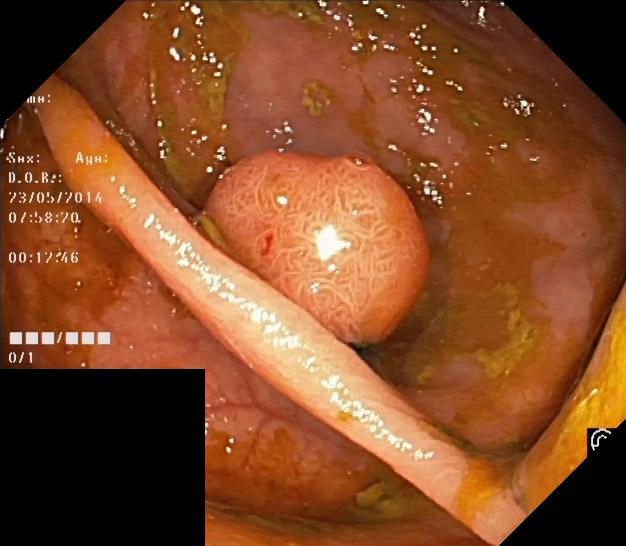GI endoscopy image of the lower GI tract showing colorectal polyp(s).